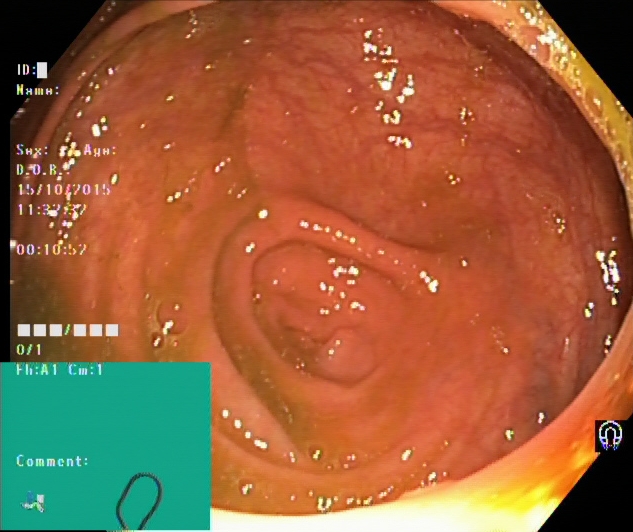PROCEDURE: Colonoscopy.
FINDINGS: Cecum.